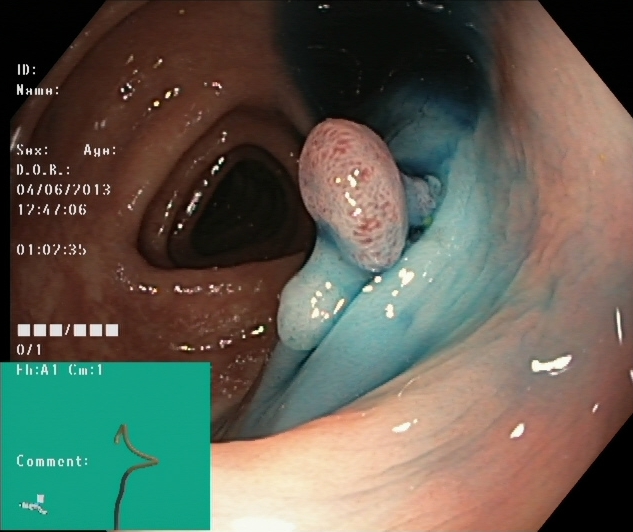{"modality": "lower-GI endoscopy", "category": "therapeutic intervention", "finding": "dyed and lifted polyp (pre-resection)"}